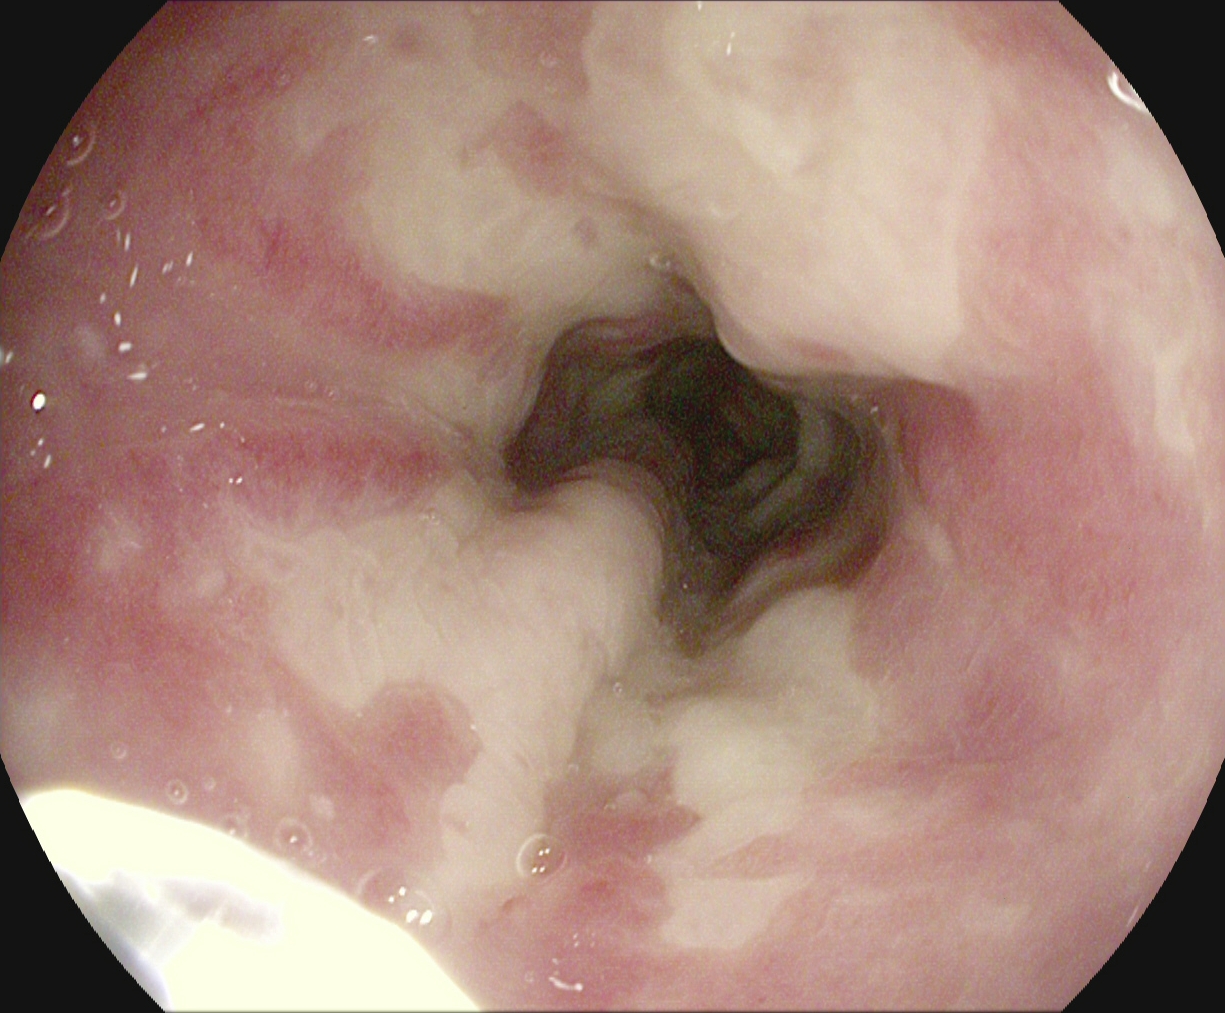Gastroscopy. Tract: upper GI tract. Pathological finding. Finding: reflux esophagitis, LA grade B–D.